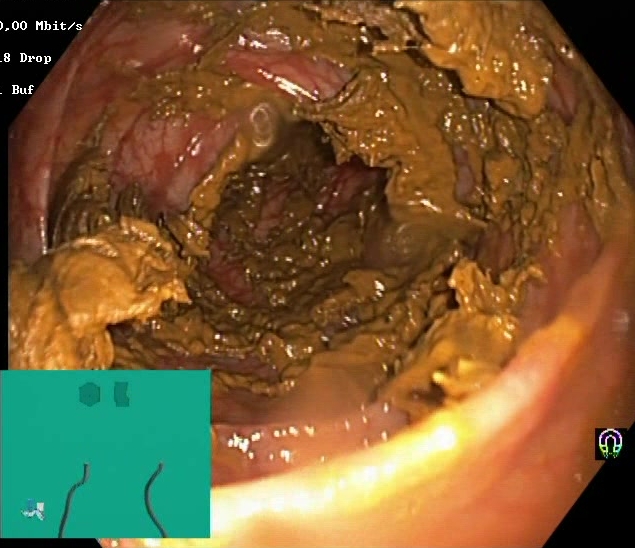Colonoscopy — Boston Bowel Preparation Scale score 0–1 (inadequate preparation).